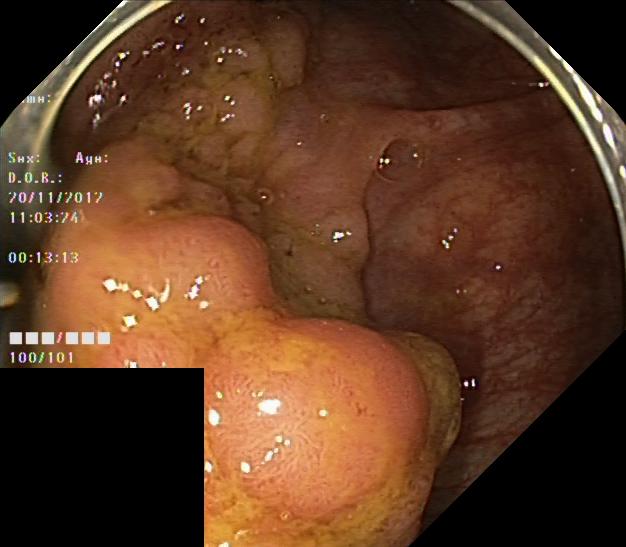Colorectal polyp(s).